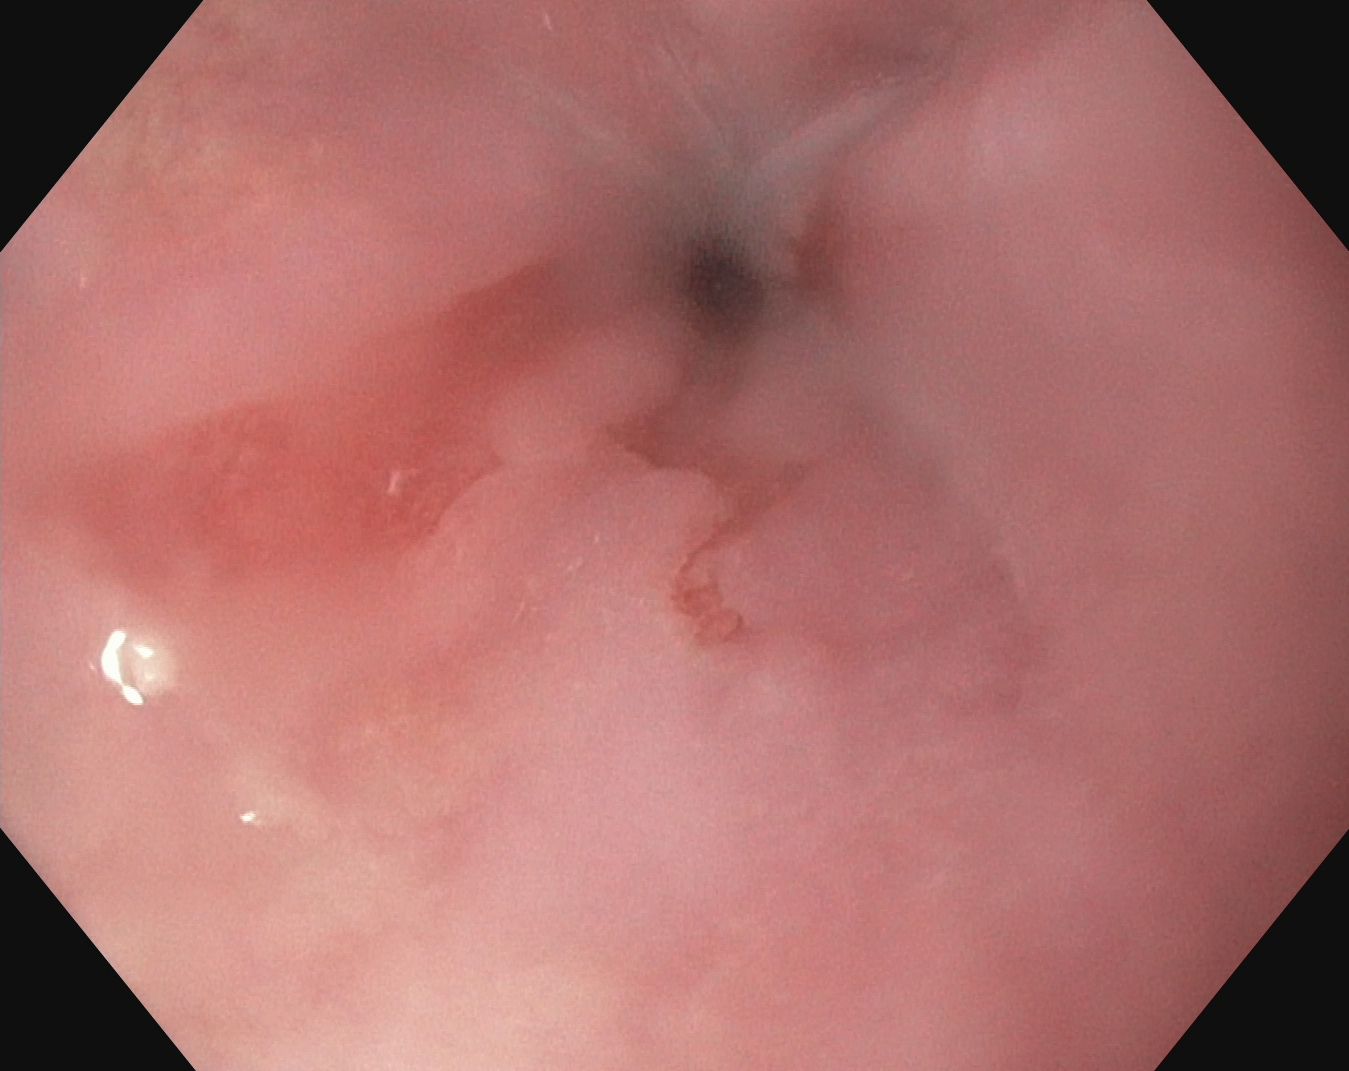Esophagogastroduodenoscopy — reflux esophagitis, LA grade A.